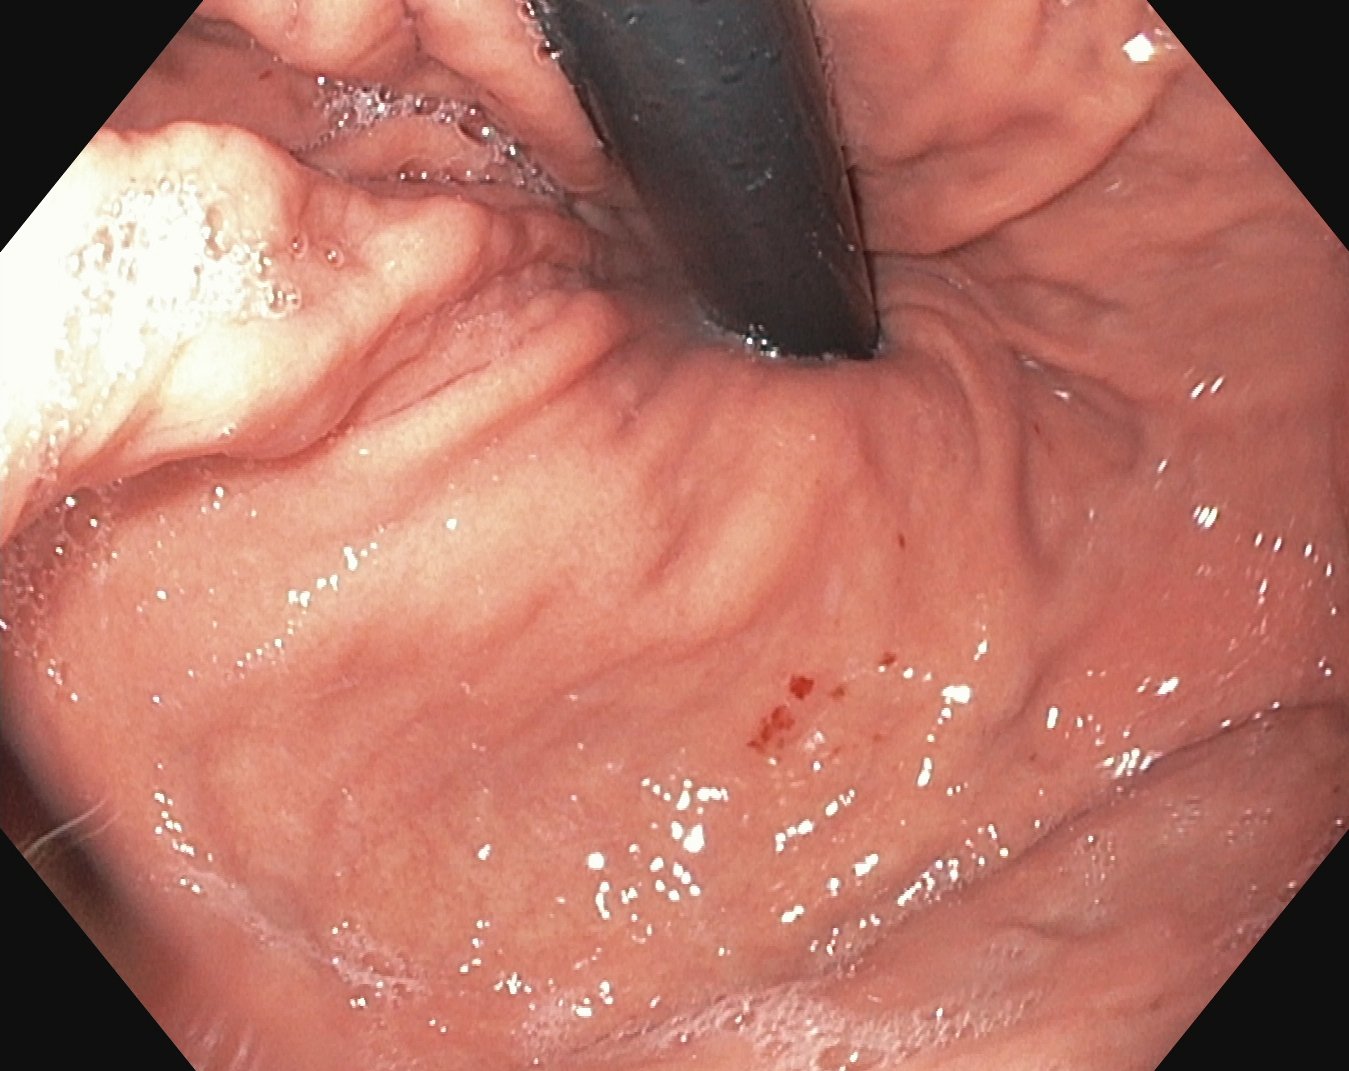Endoscopy image of the upper GI tract showing stomach in retroflexion.